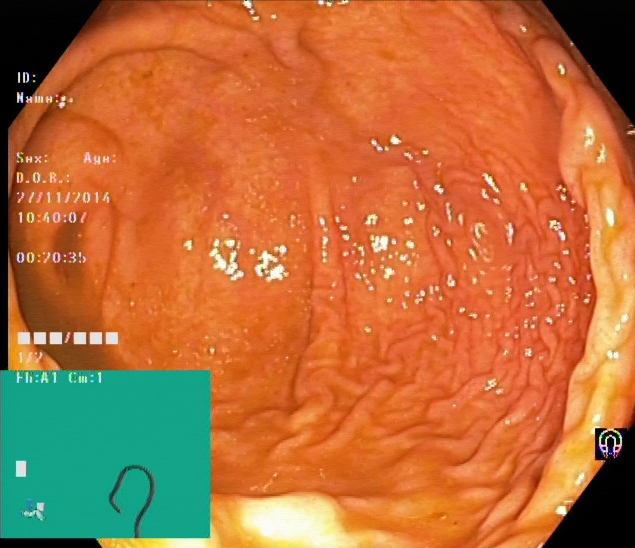This endoscopy frame shows cecum.